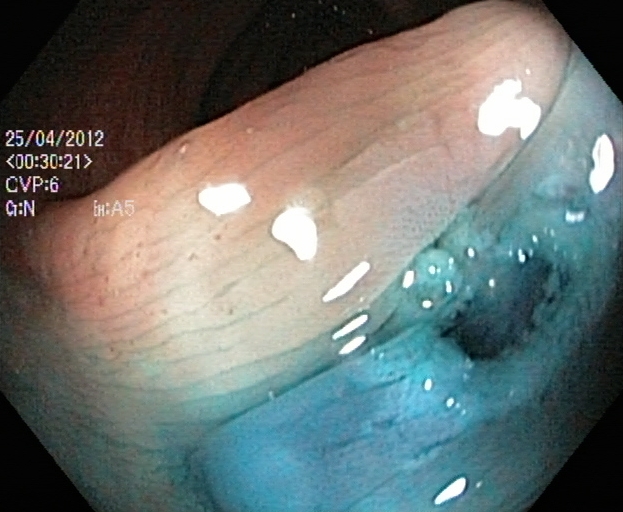PROCEDURE: Colonoscopy.
FINDINGS: Dyed resection margins (post-polypectomy).